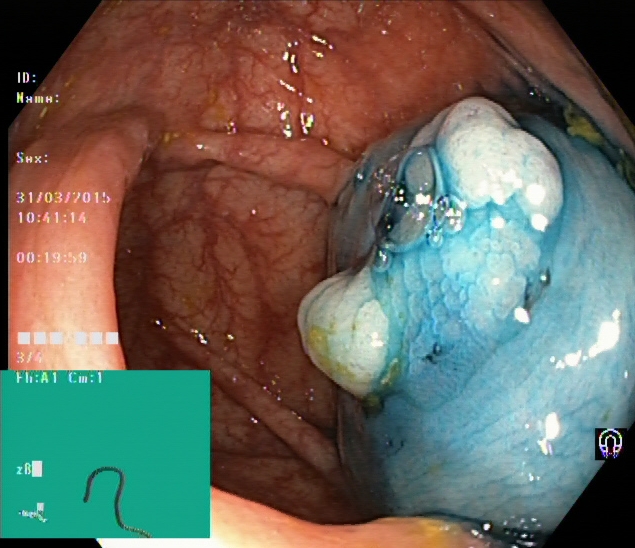modality: colonoscopy; tract: lower GI tract; category: therapeutic intervention; finding: dyed and lifted polyp (pre-resection)